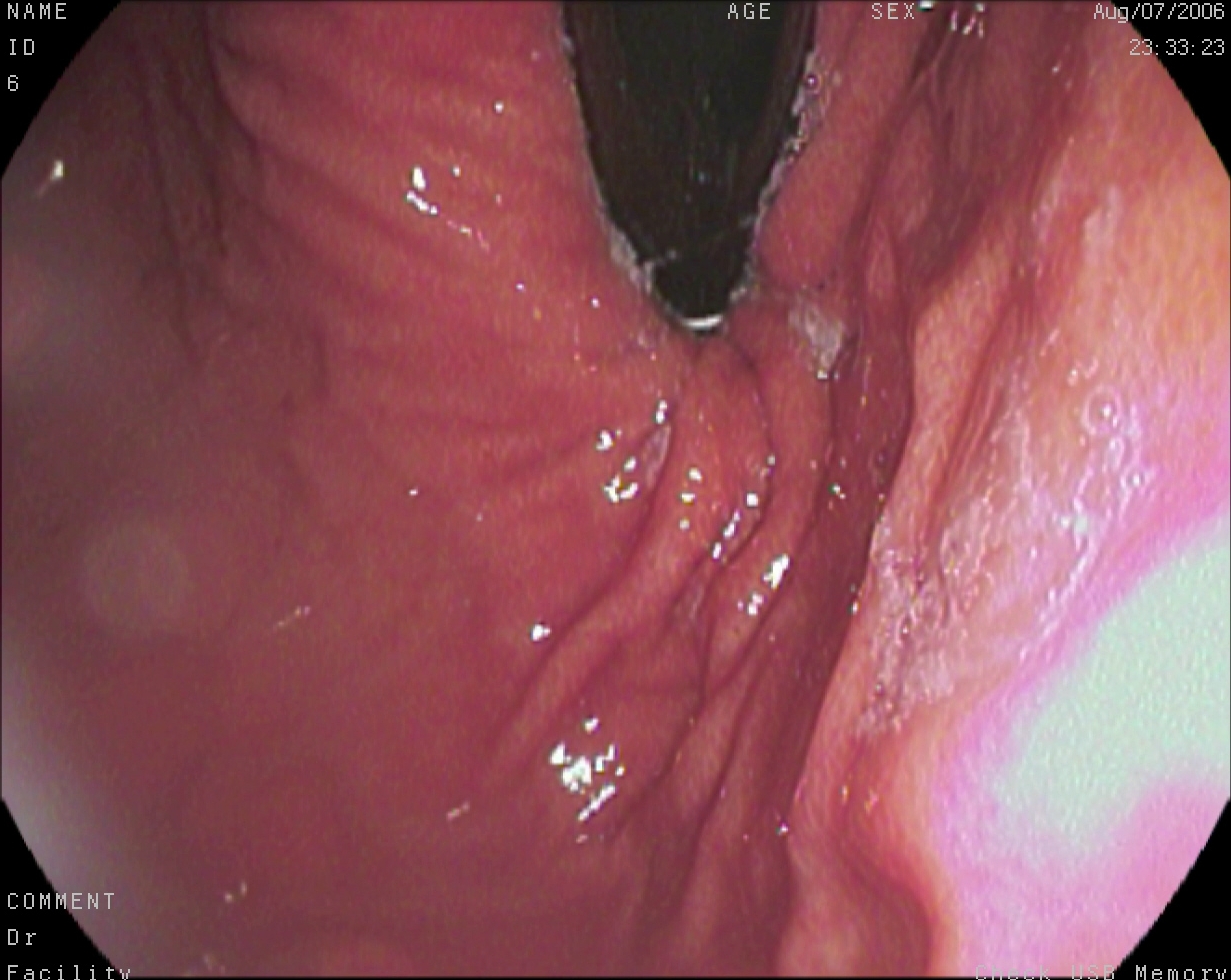PROCEDURE: Esophagogastroduodenoscopy.
CATEGORY: Anatomical landmark.
FINDINGS: Stomach in retroflexion.